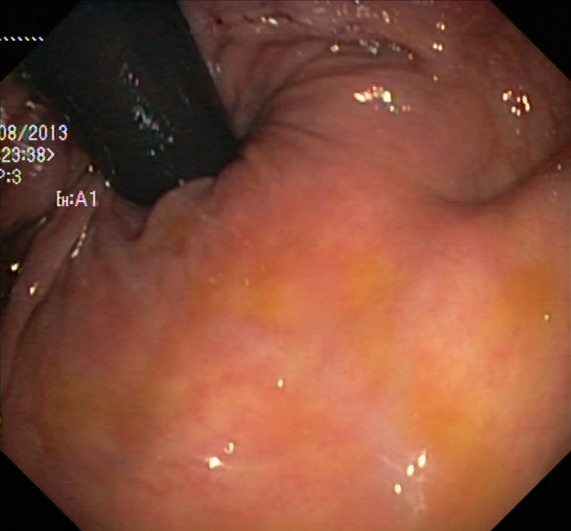Lower gastrointestinal endoscopy. Finding: rectum in retroflexion.